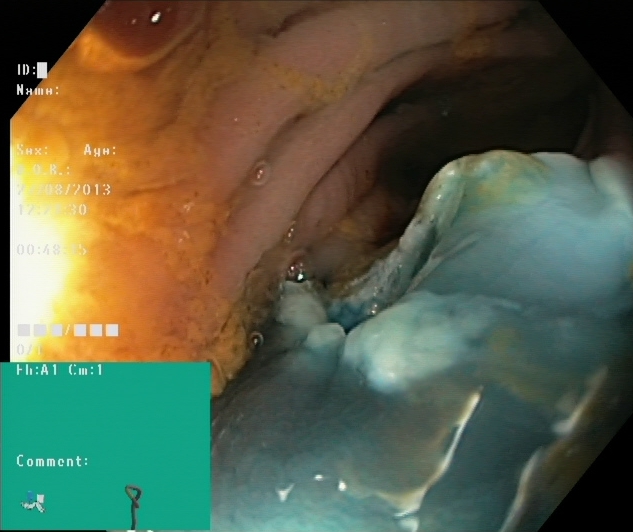{"modality": "lower-GI endoscopy", "tract": "lower GI tract", "finding": "dyed resection margins (post-polypectomy)"}